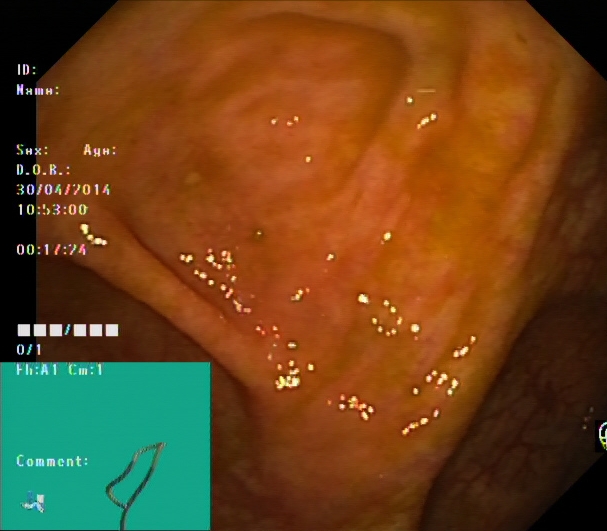{"modality": "lower-GI endoscopy", "tract": "lower GI tract", "finding": "cecum"}